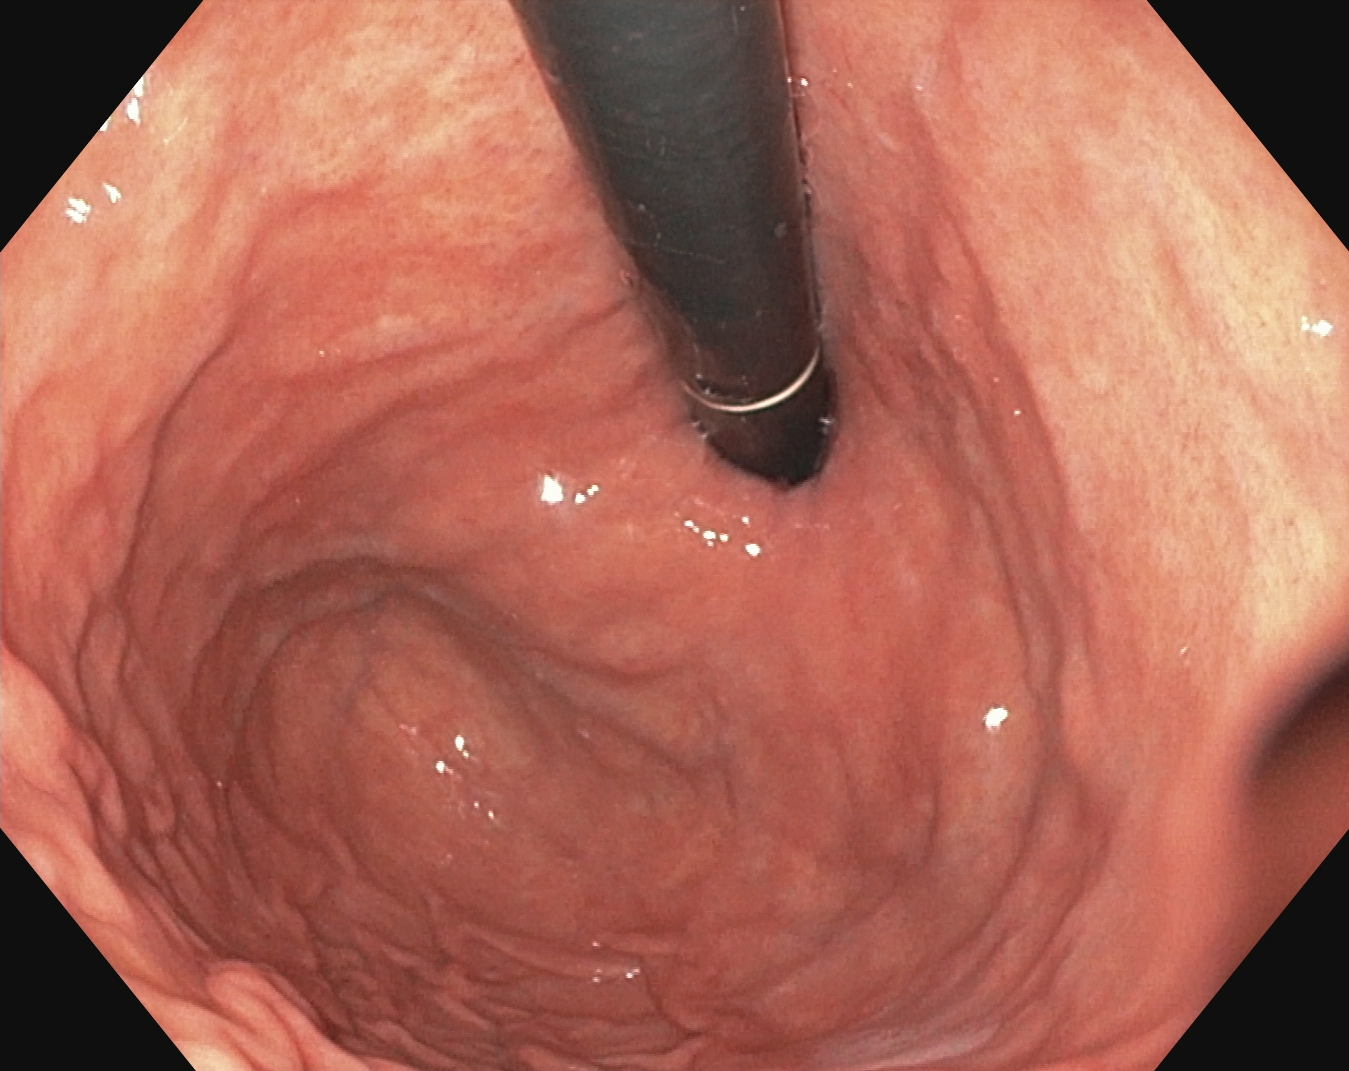modality: upper-GI endoscopy; tract: upper GI tract; finding: stomach in retroflexion